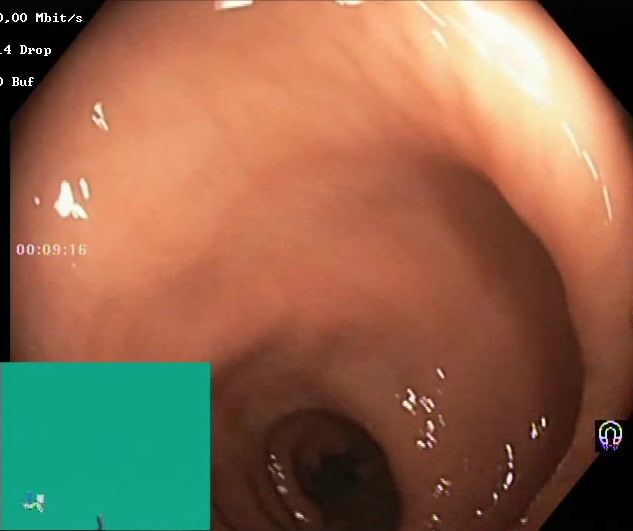This endoscopic image shows Boston Bowel Preparation Scale score 2–3 (adequate preparation).